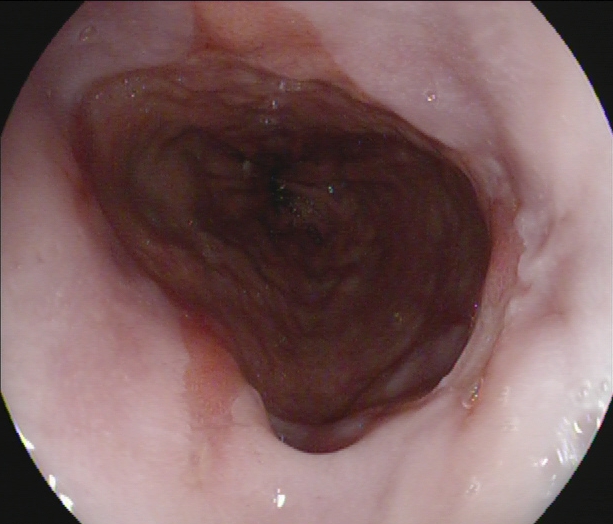modality: EGD; tract: upper GI tract; finding: Barrett's esophagus